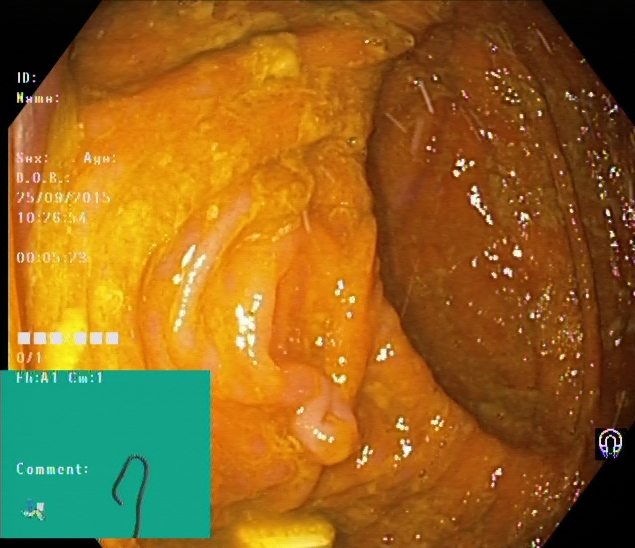Colonoscopy. Tract: lower GI tract. Finding: cecum.